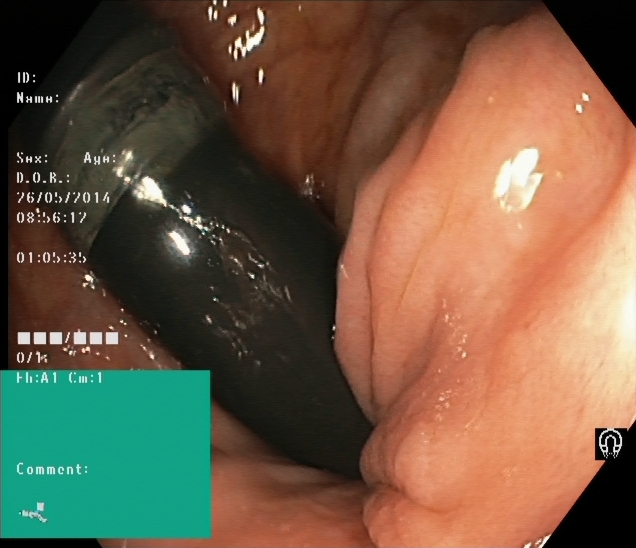PROCEDURE: Lower gastrointestinal endoscopy.
FINDINGS: Rectum in retroflexion.